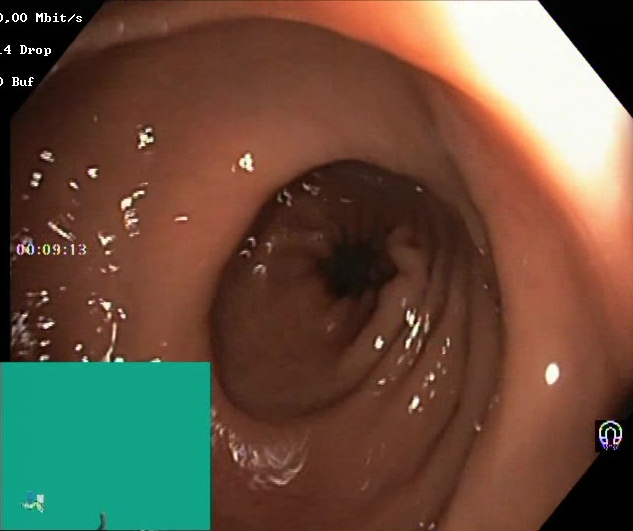PROCEDURE: Lower gastrointestinal endoscopy.
FINDINGS: Boston Bowel Preparation Scale score 2–3 (adequate preparation).